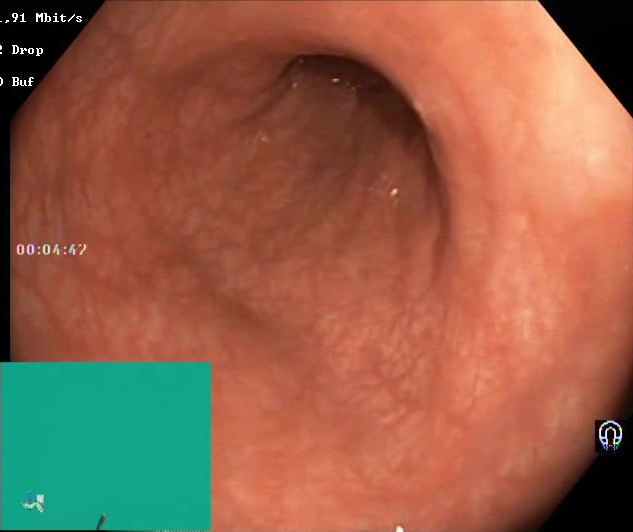Boston Bowel Preparation Scale score 2–3 (adequate preparation).